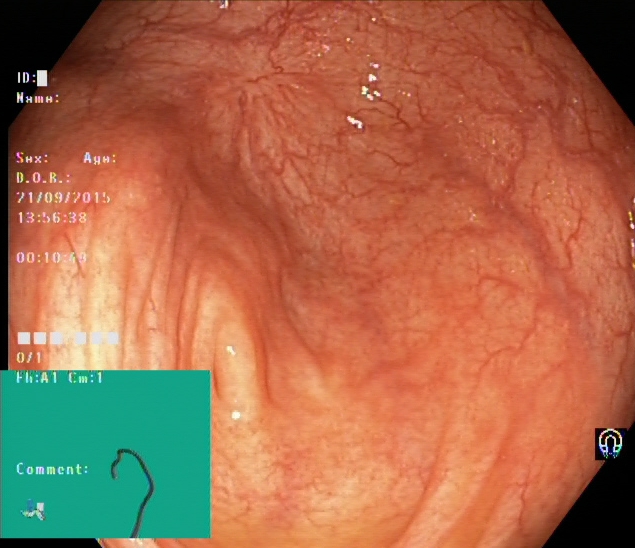This endoscopic image of the lower GI tract shows cecum.